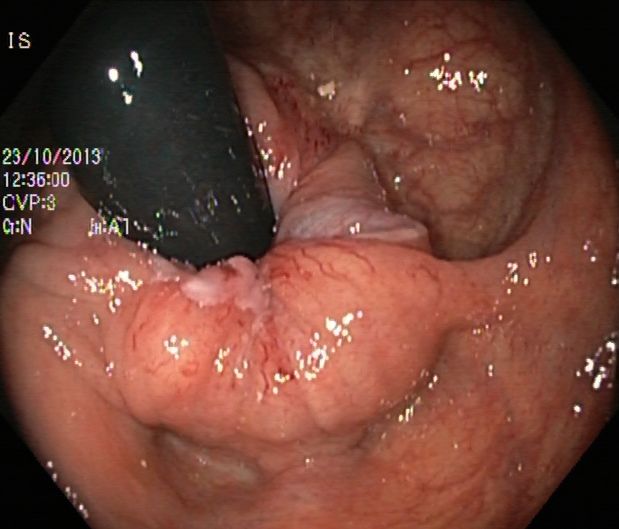Lower-GI endoscopy — rectum in retroflexion.